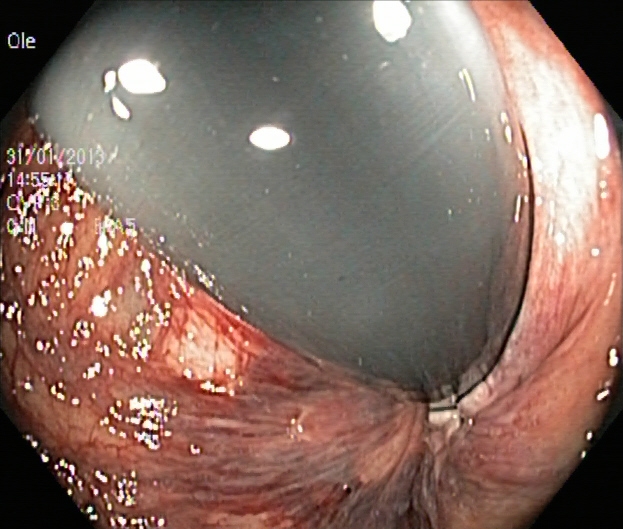This endoscopy frame of the lower GI tract shows rectum in retroflexion.